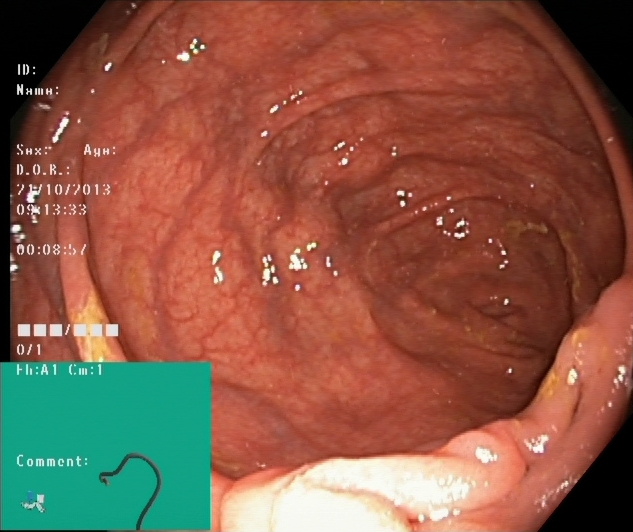modality: lower-GI endoscopy | finding: cecum